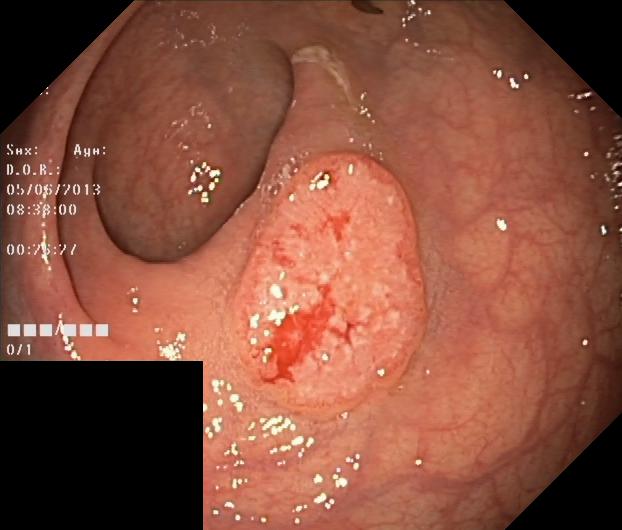Colonoscopy image of the lower GI tract showing colorectal polyp(s).